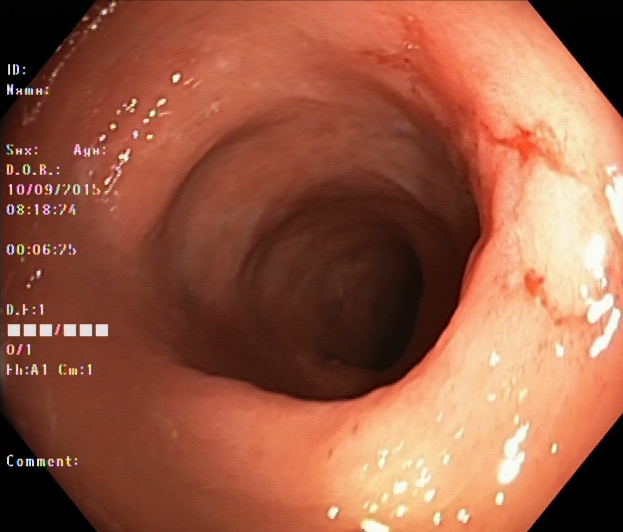{"modality": "colonoscopy", "tract": "lower GI tract", "category": "pathological finding", "finding": "UC, Mayo endoscopic subscore 2"}